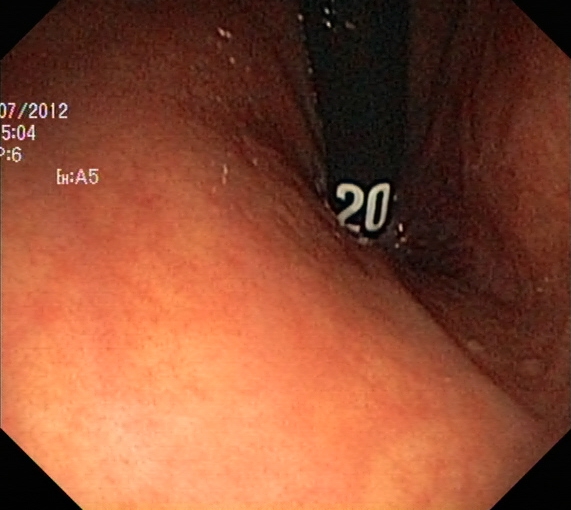Colonoscopy. Anatomical landmark. Finding: rectum in retroflexion.